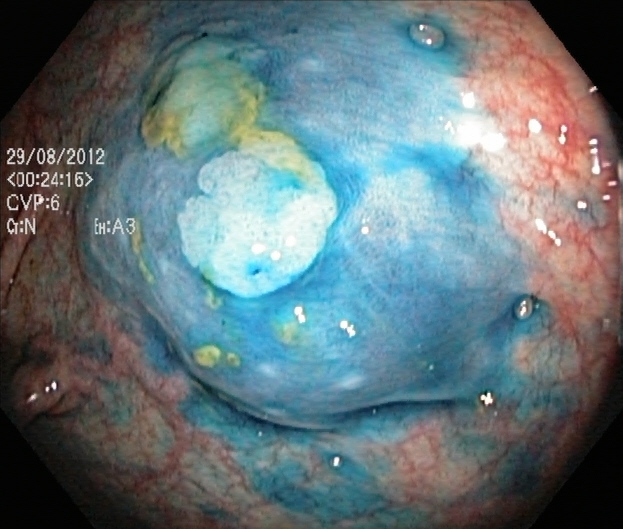Colonoscopy. Finding: dyed and lifted polyp (pre-resection).